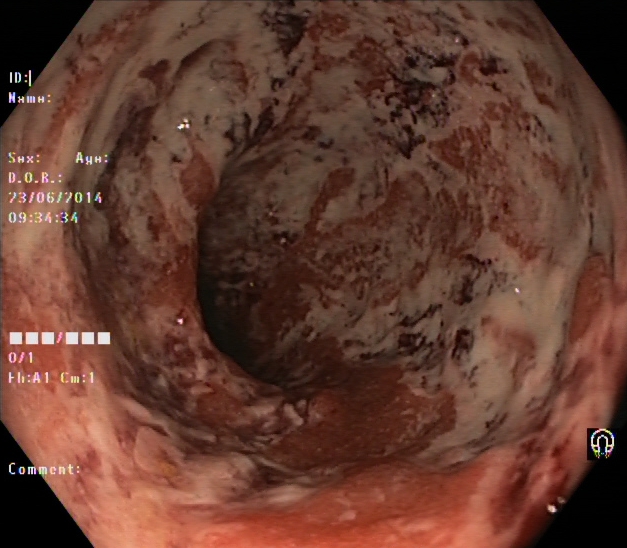{"modality": "lower gastrointestinal endoscopy", "category": "pathological finding", "finding": "ulcerative colitis, Mayo endoscopic subscore 3"}